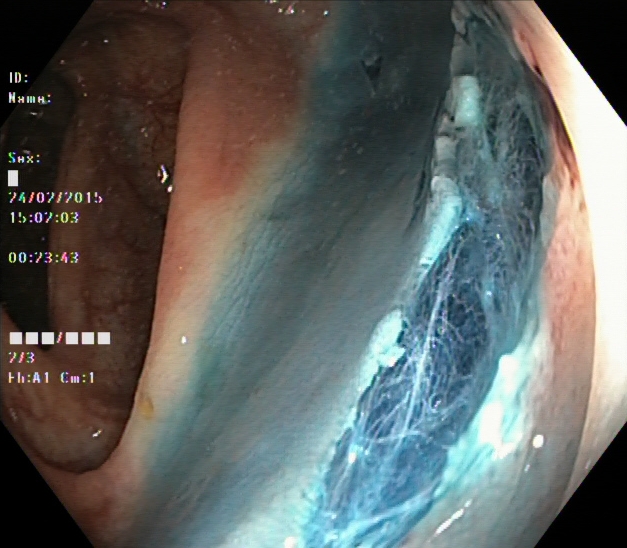{"modality": "lower gastrointestinal endoscopy", "category": "therapeutic intervention", "finding": "dyed resection margins (post-polypectomy)"}